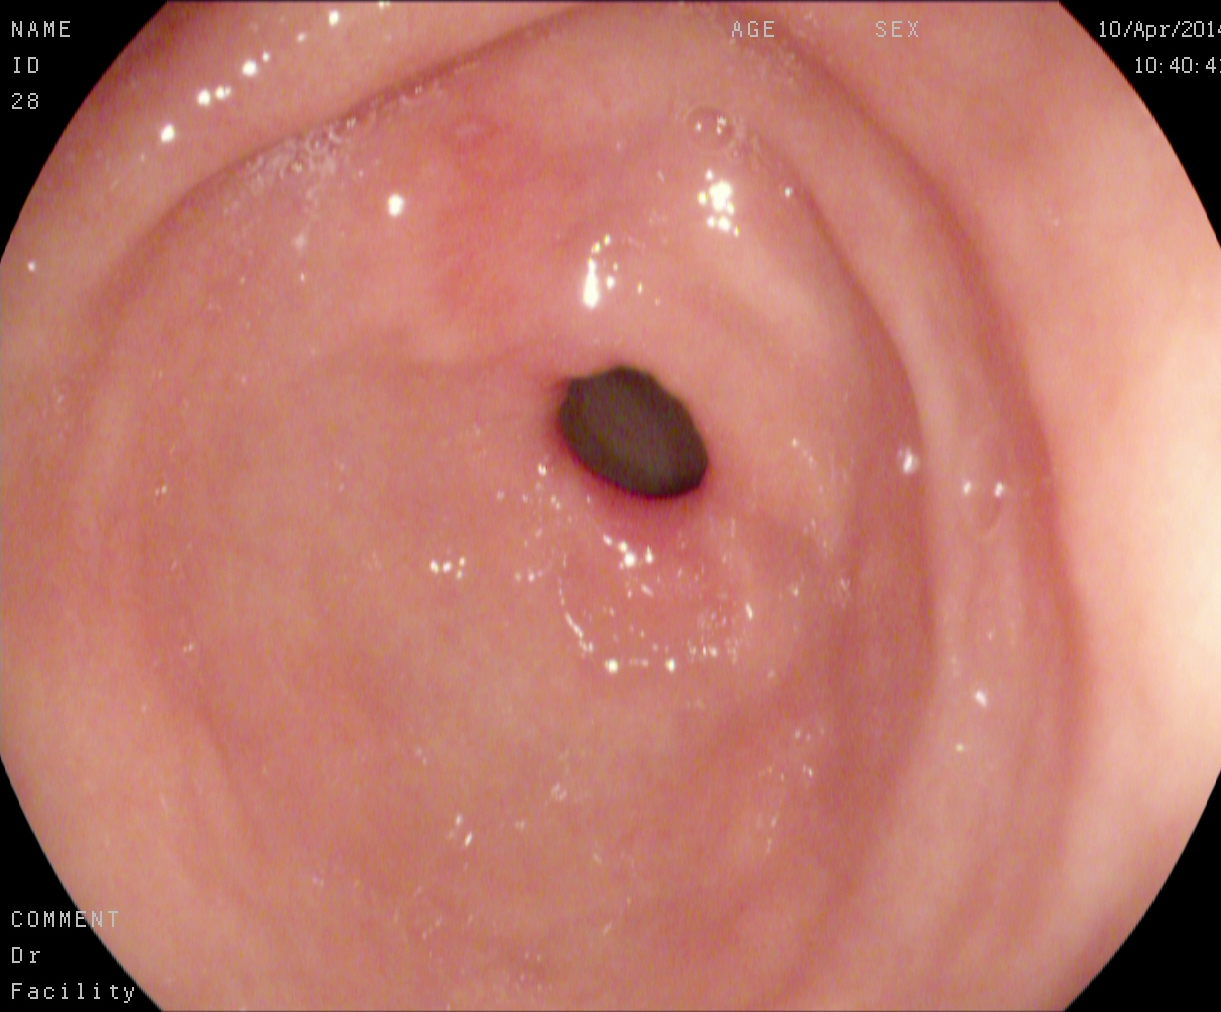EGD — pylorus.